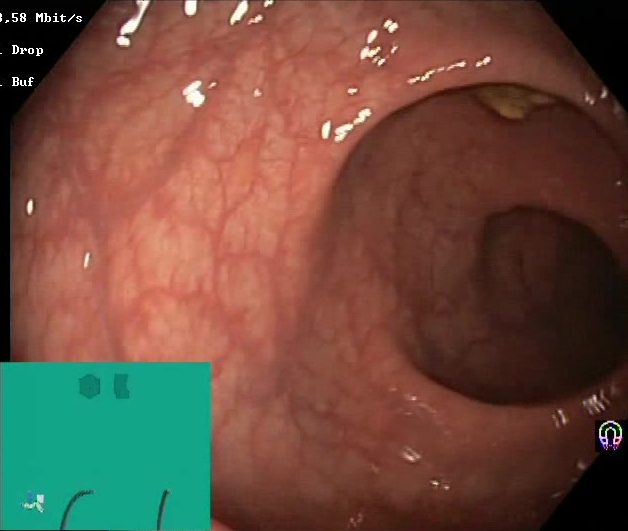This endoscopy frame of the lower GI tract shows BBPS score 2–3 (adequate preparation).